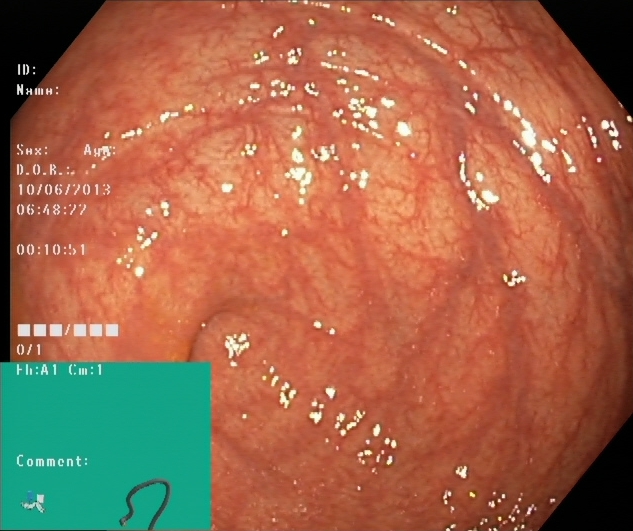cecum.